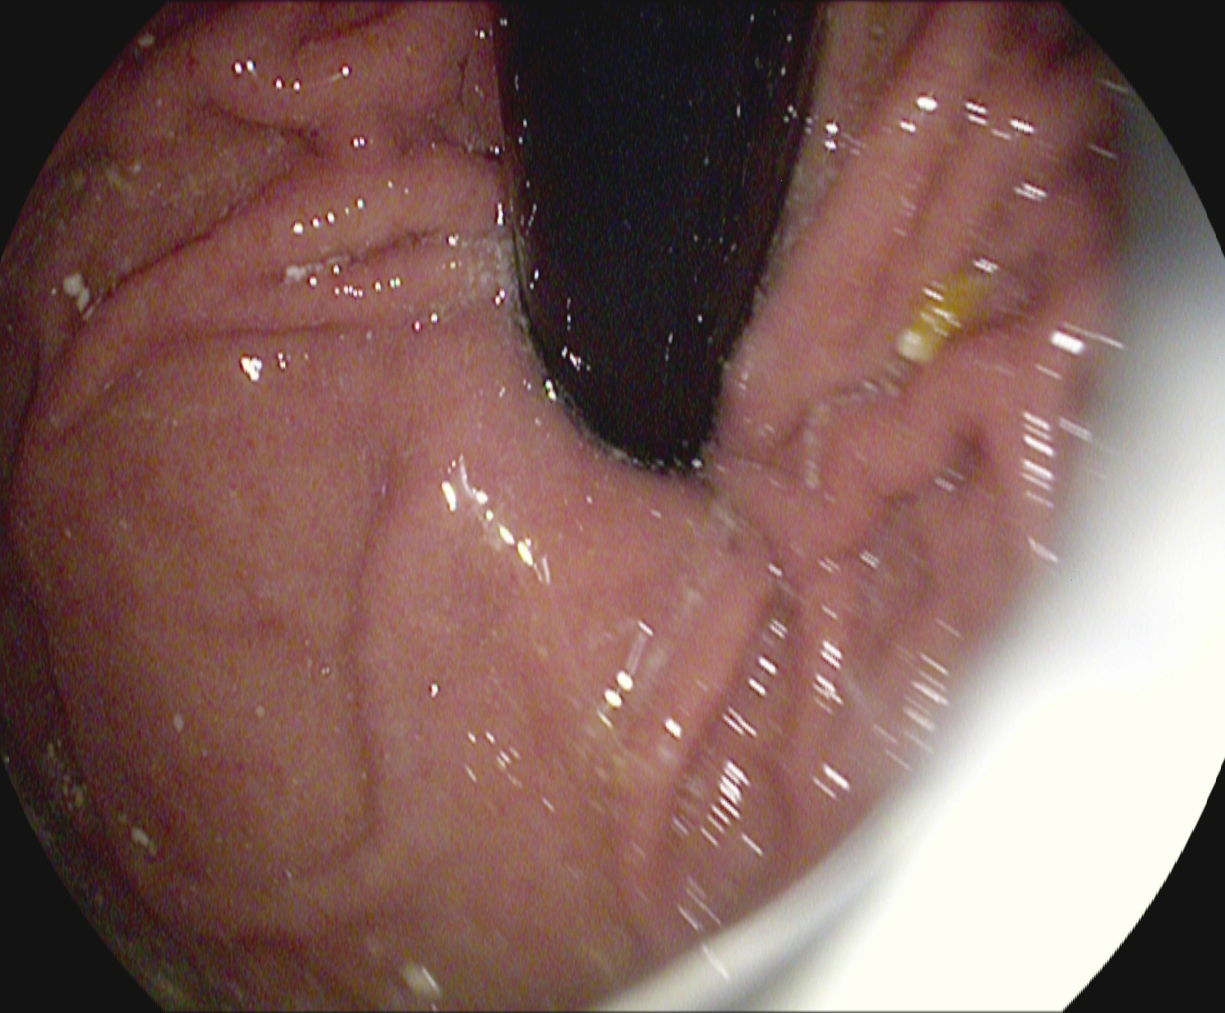modality: upper-GI endoscopy; category: anatomical landmark; finding: stomach in retroflexion